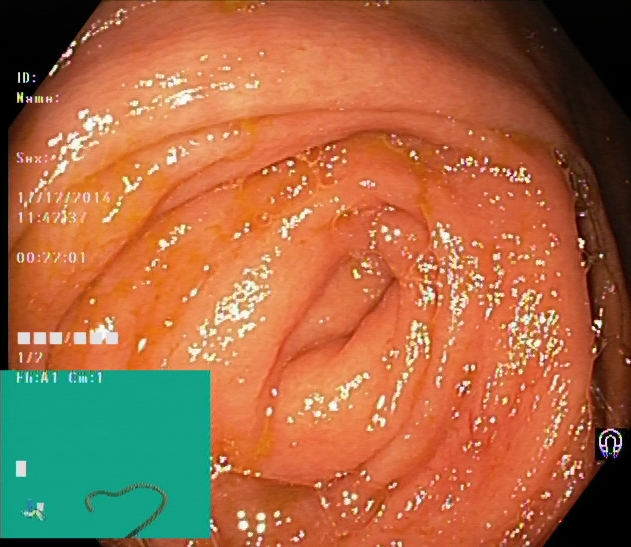Lower gastrointestinal endoscopy — cecum.